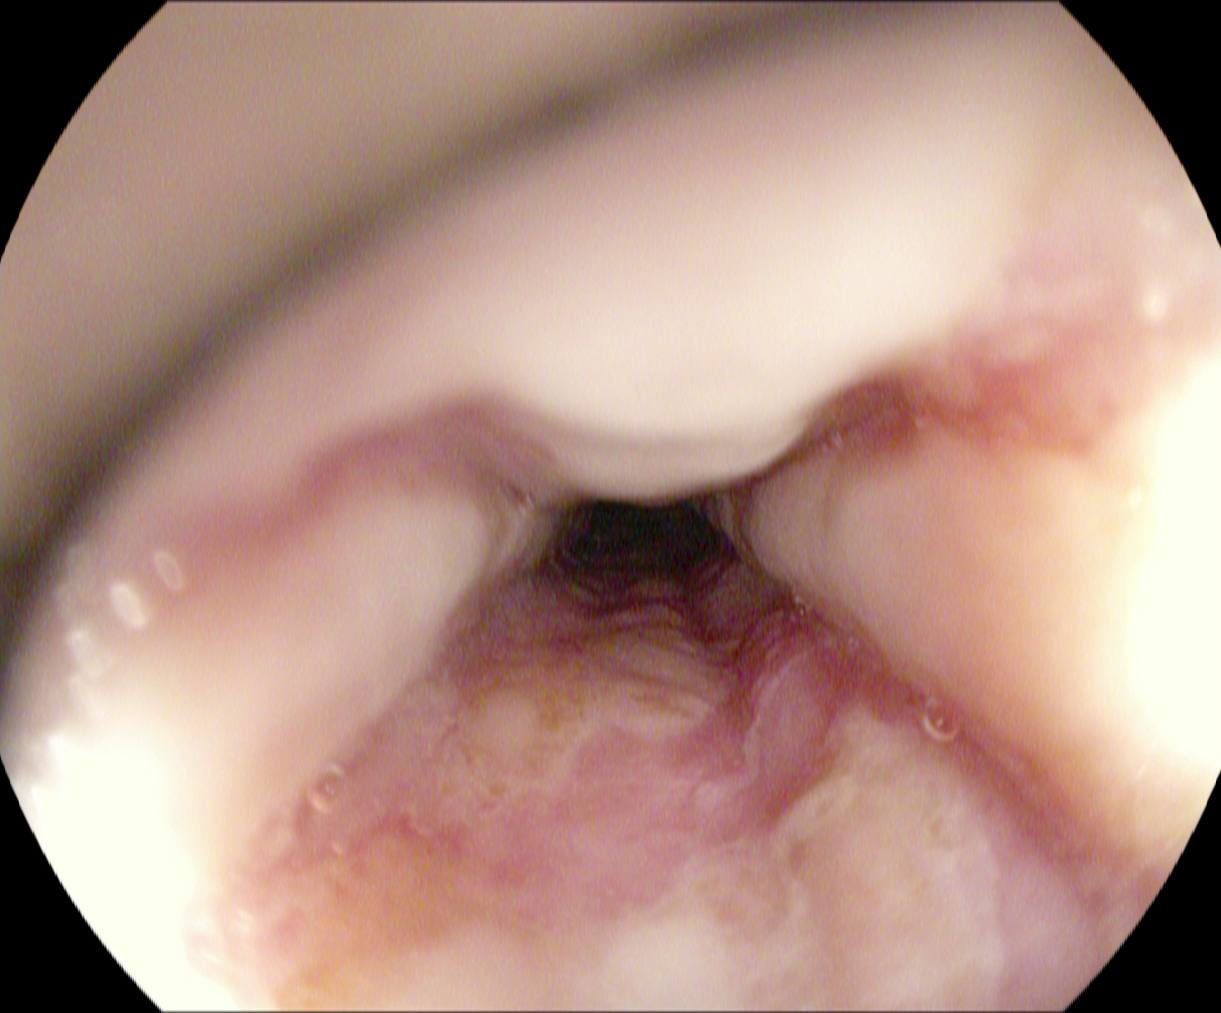Esophagogastroduodenoscopy. Tract: upper GI tract. Pathological finding. Finding: reflux esophagitis, Los Angeles grade B–D.